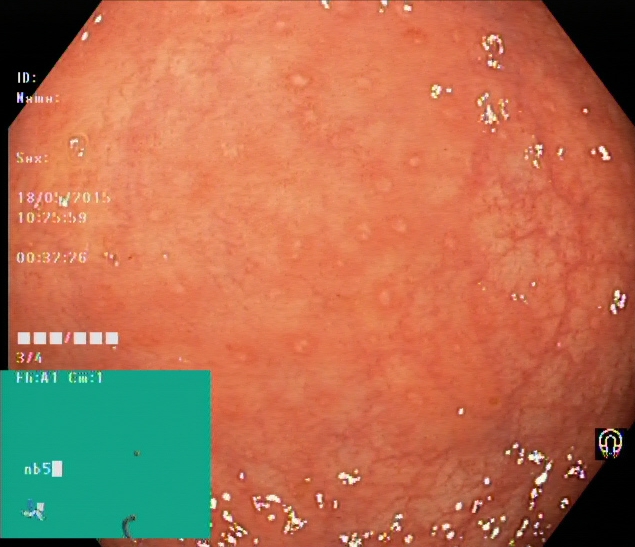Ulcerative colitis, Mayo endoscopic subscore 1.